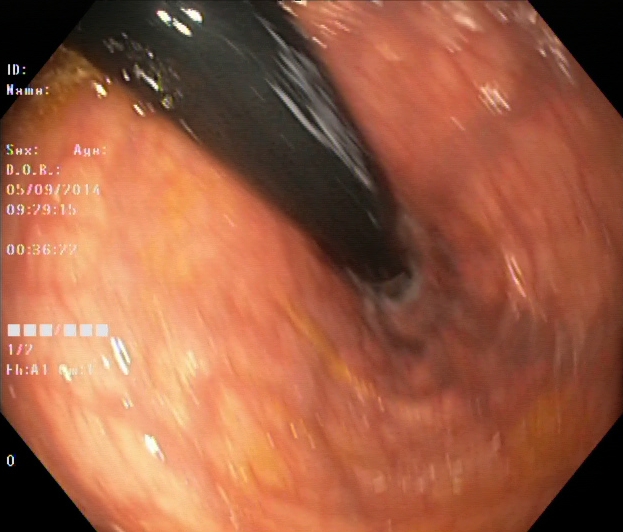GI endoscopy image of the lower GI tract showing rectum in retroflexion.